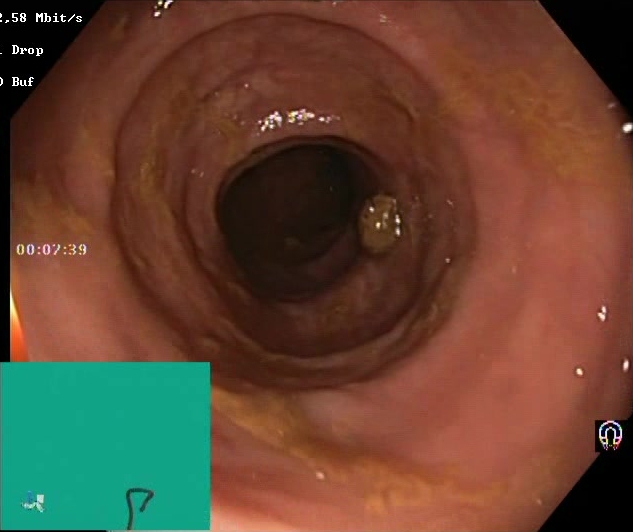GI endoscopy image of the lower GI tract showing BBPS score 2–3 (adequate preparation).